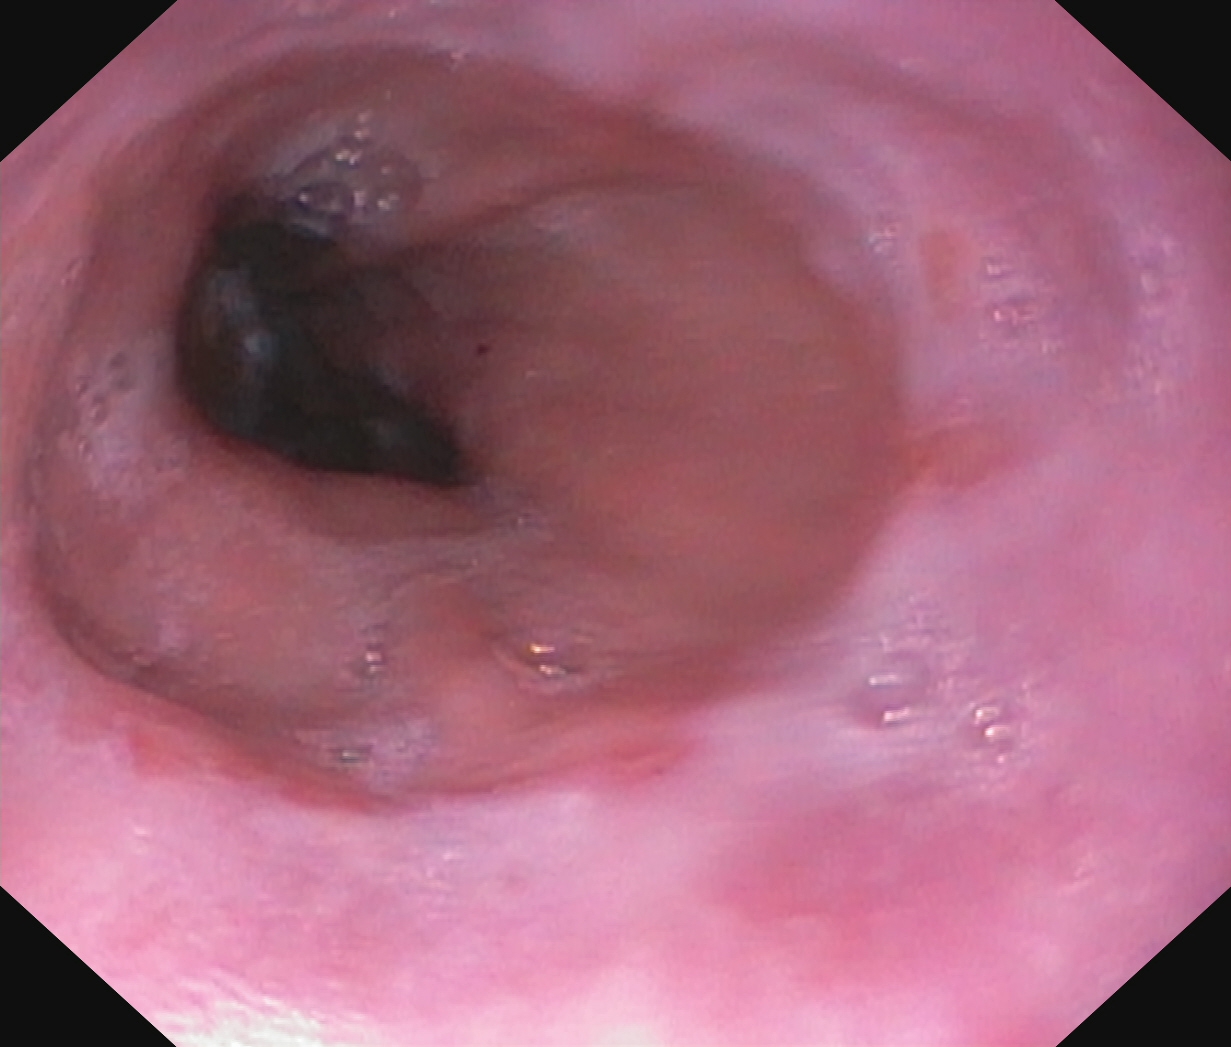This endoscopic image of the upper GI tract shows reflux esophagitis, Los Angeles grade A.